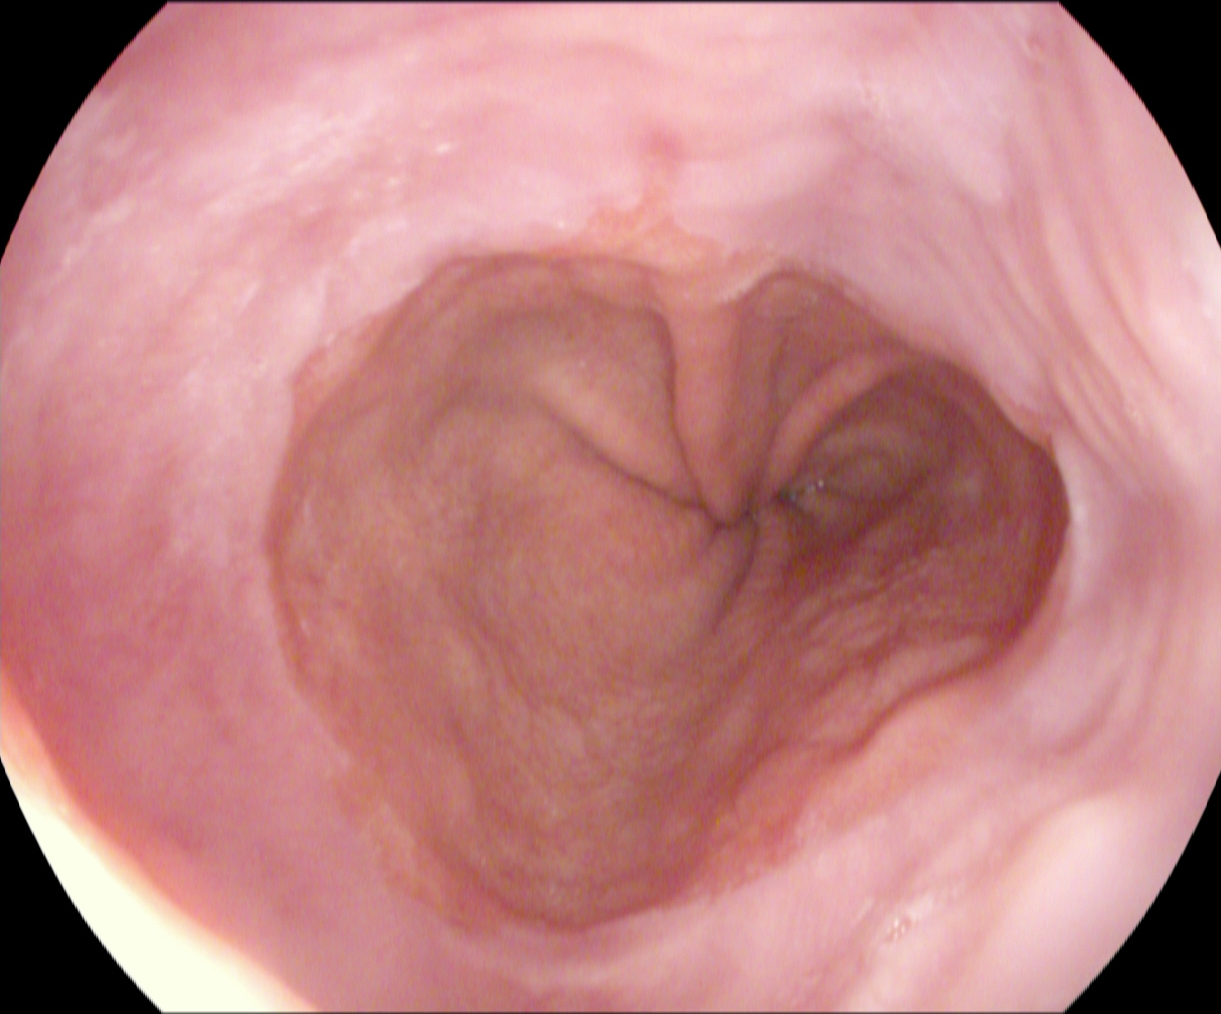PROCEDURE: Esophagogastroduodenoscopy.
FINDINGS: Reflux esophagitis, LA grade A.